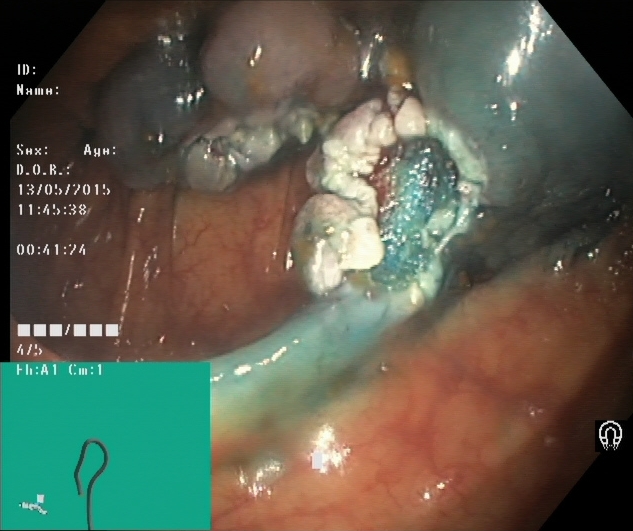Endoscopic image of the lower GI tract showing dyed resection margins (post-polypectomy).